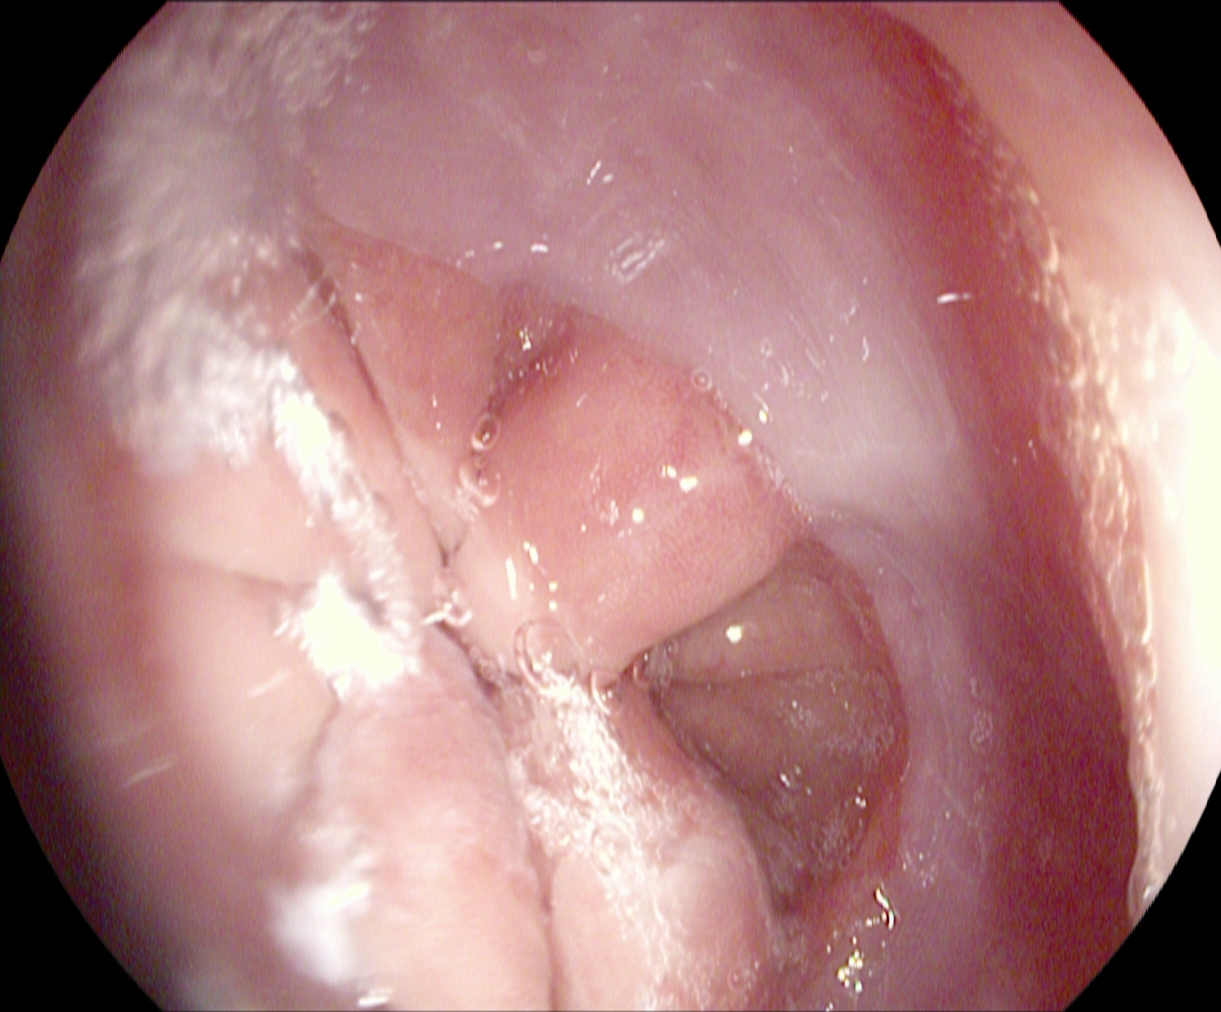Esophagogastroduodenoscopy. Finding: Z-line (gastroesophageal junction).